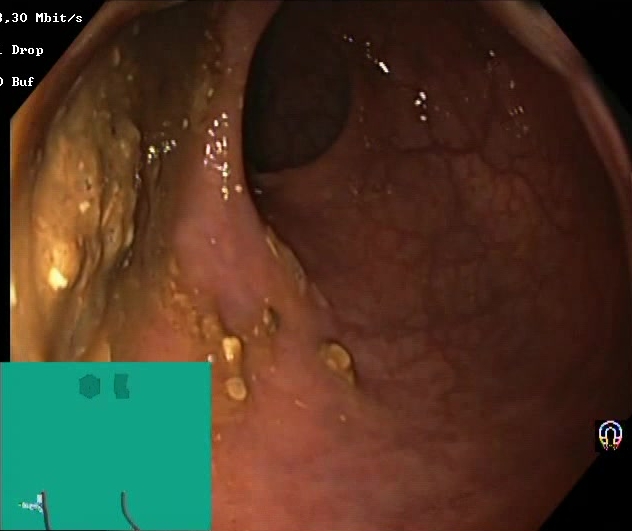PROCEDURE: Colonoscopy.
FINDINGS: Boston Bowel Preparation Scale score 0–1 (inadequate preparation).